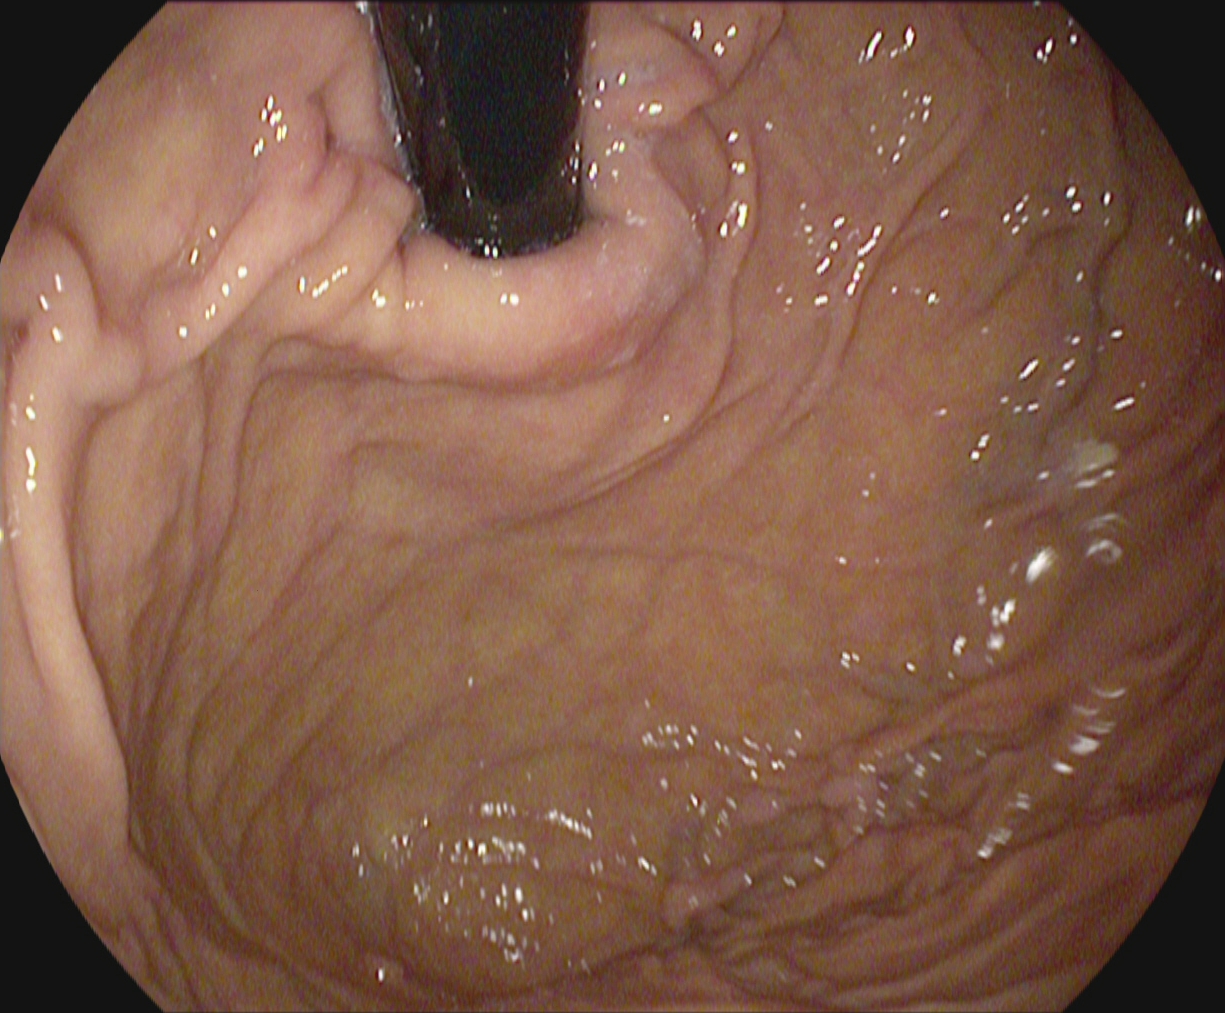This endoscopy frame of the upper GI tract shows stomach in retroflexion.